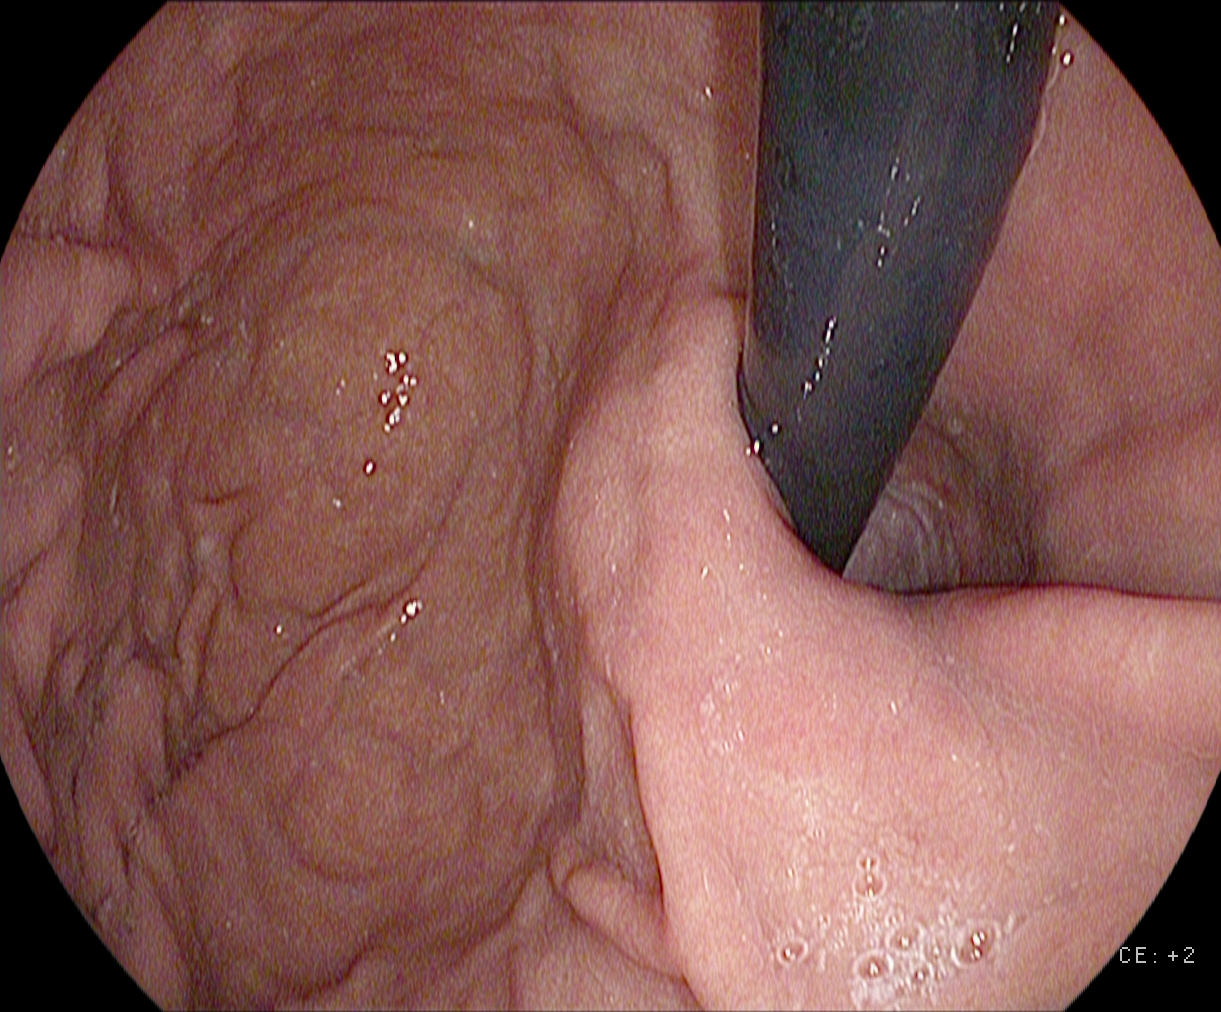Esophagogastroduodenoscopy. Tract: upper GI tract. Finding: stomach in retroflexion.